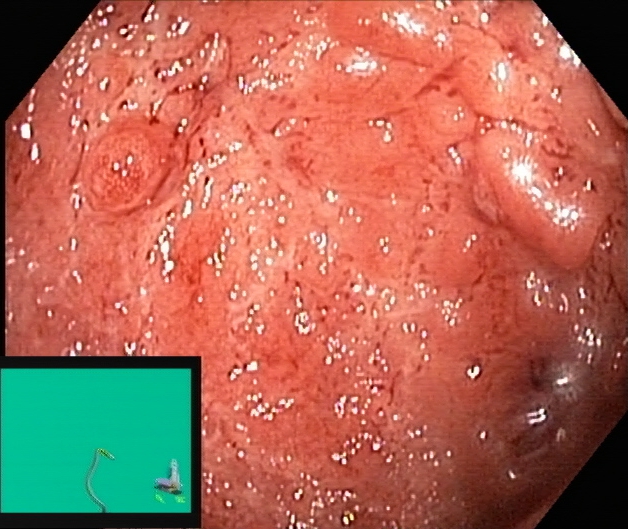PROCEDURE: Lower gastrointestinal endoscopy.
FINDINGS: Ulcerative colitis, Mayo endoscopic subscore 2.